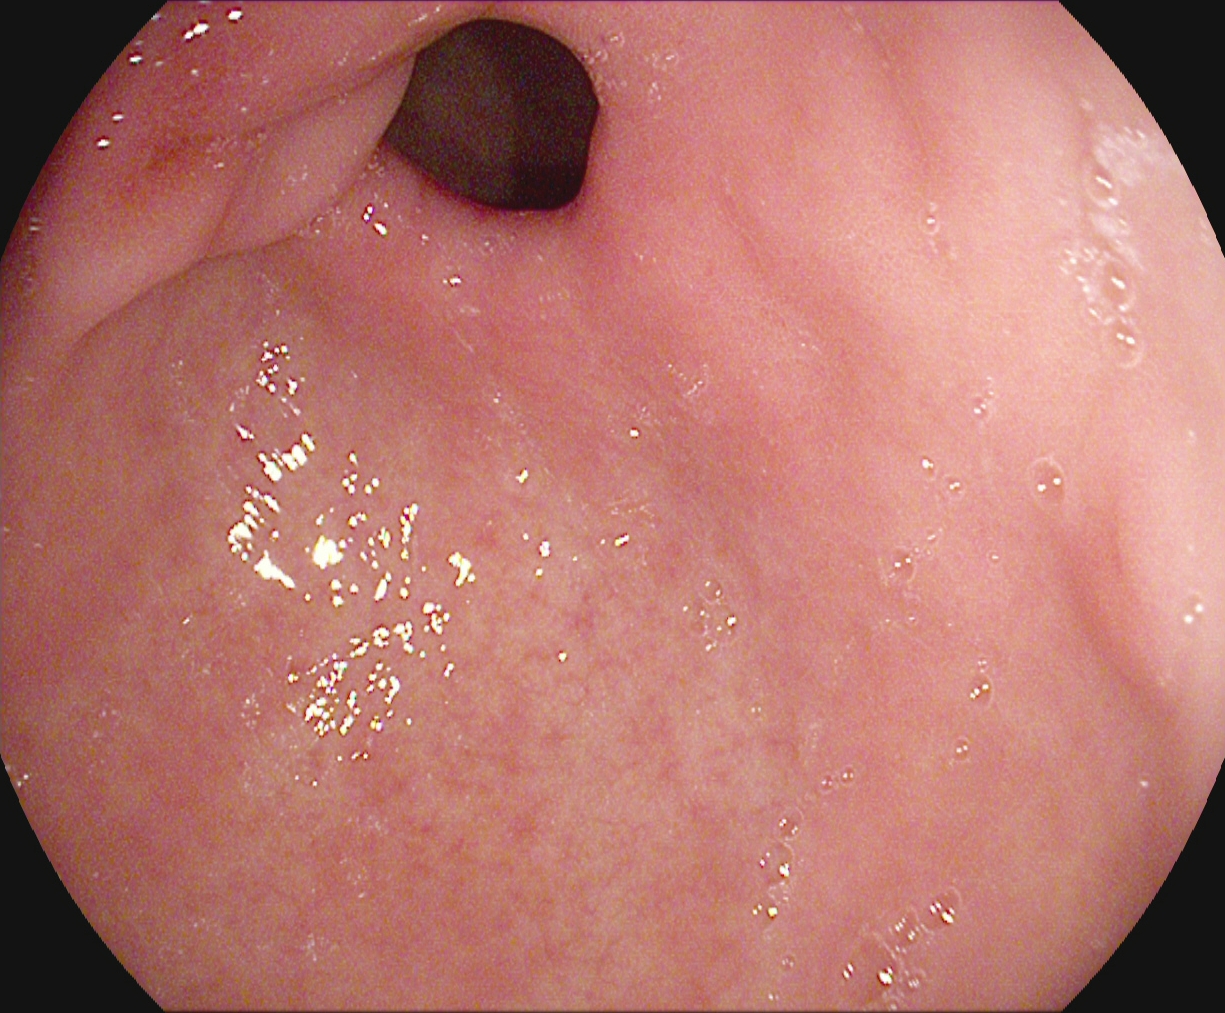modality: upper-GI endoscopy | tract: upper GI tract | finding: pylorus